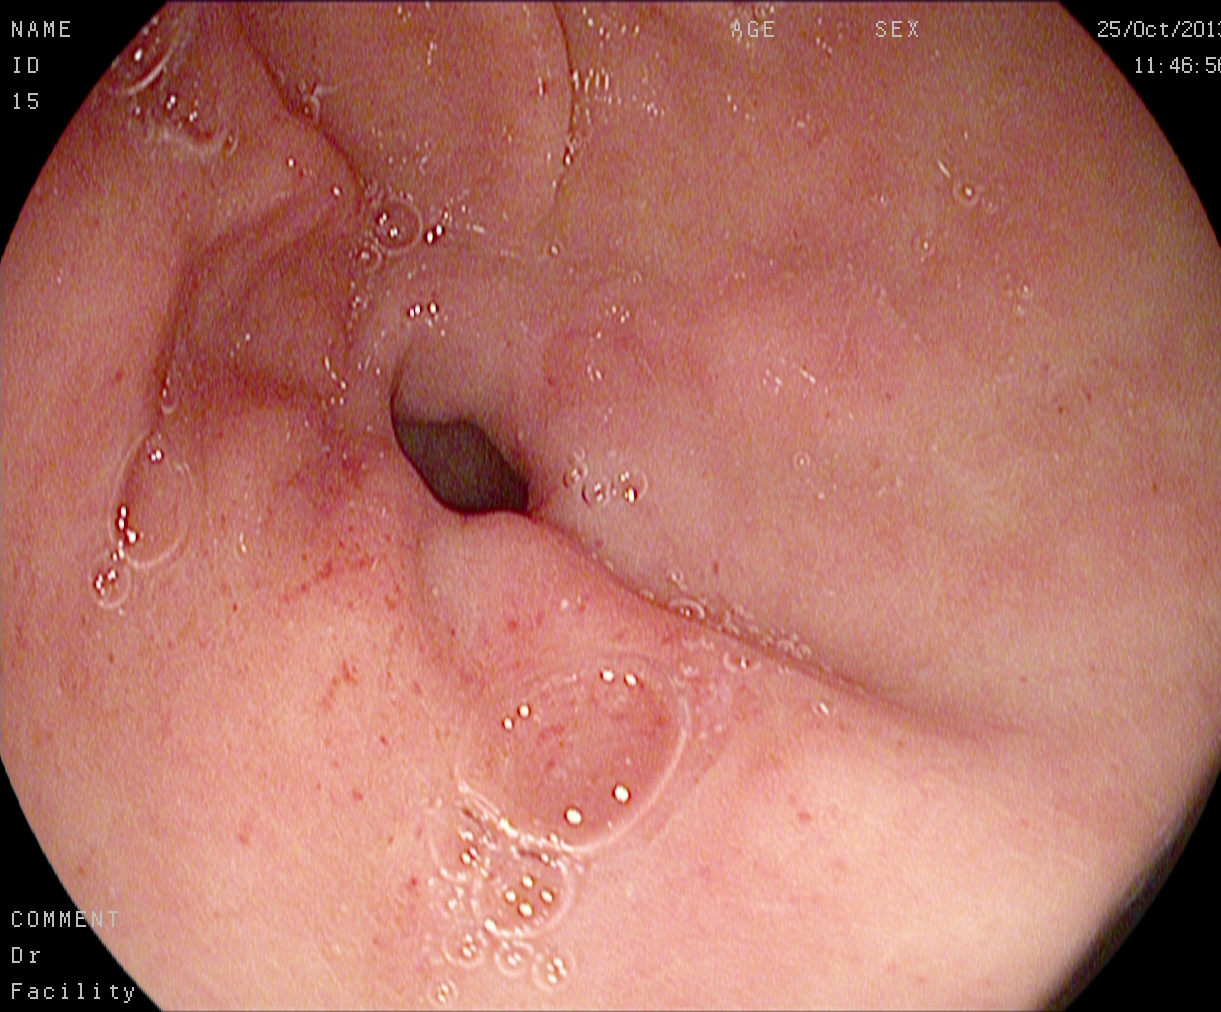PROCEDURE: EGD.
FINDINGS: Pylorus.